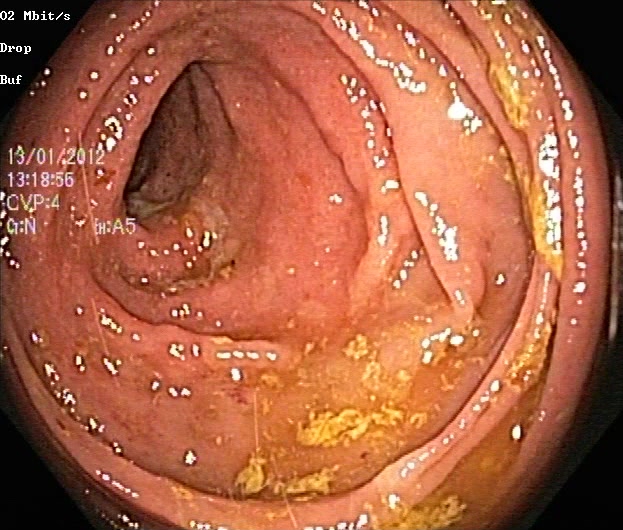modality: colonoscopy
tract: lower GI tract
finding: ulcerative colitis, Mayo endoscopic subscore 2